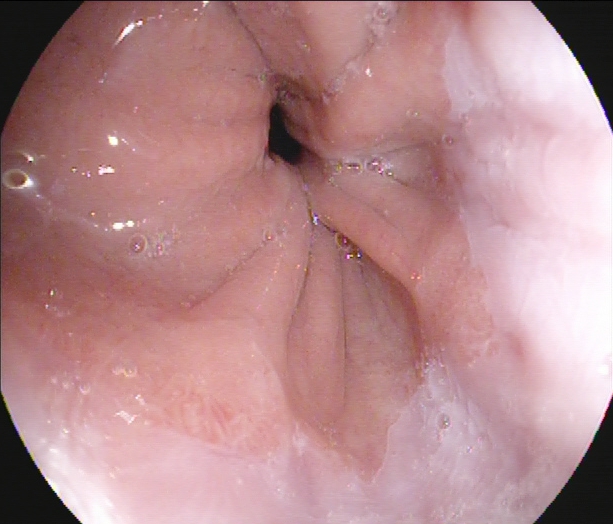Z-line (gastroesophageal junction).